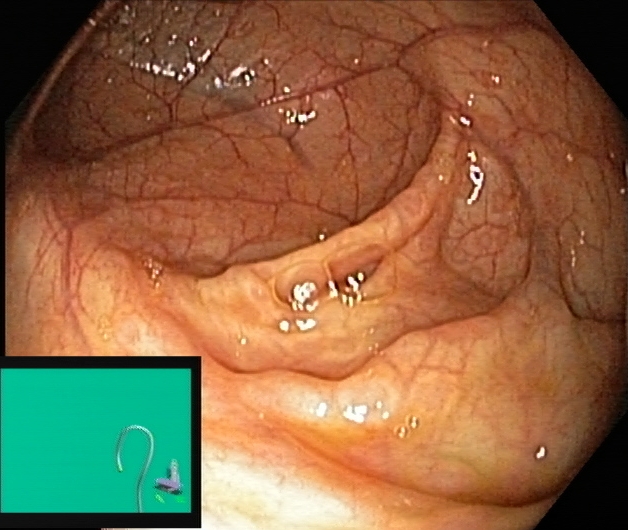Lower-GI endoscopy image showing cecum.